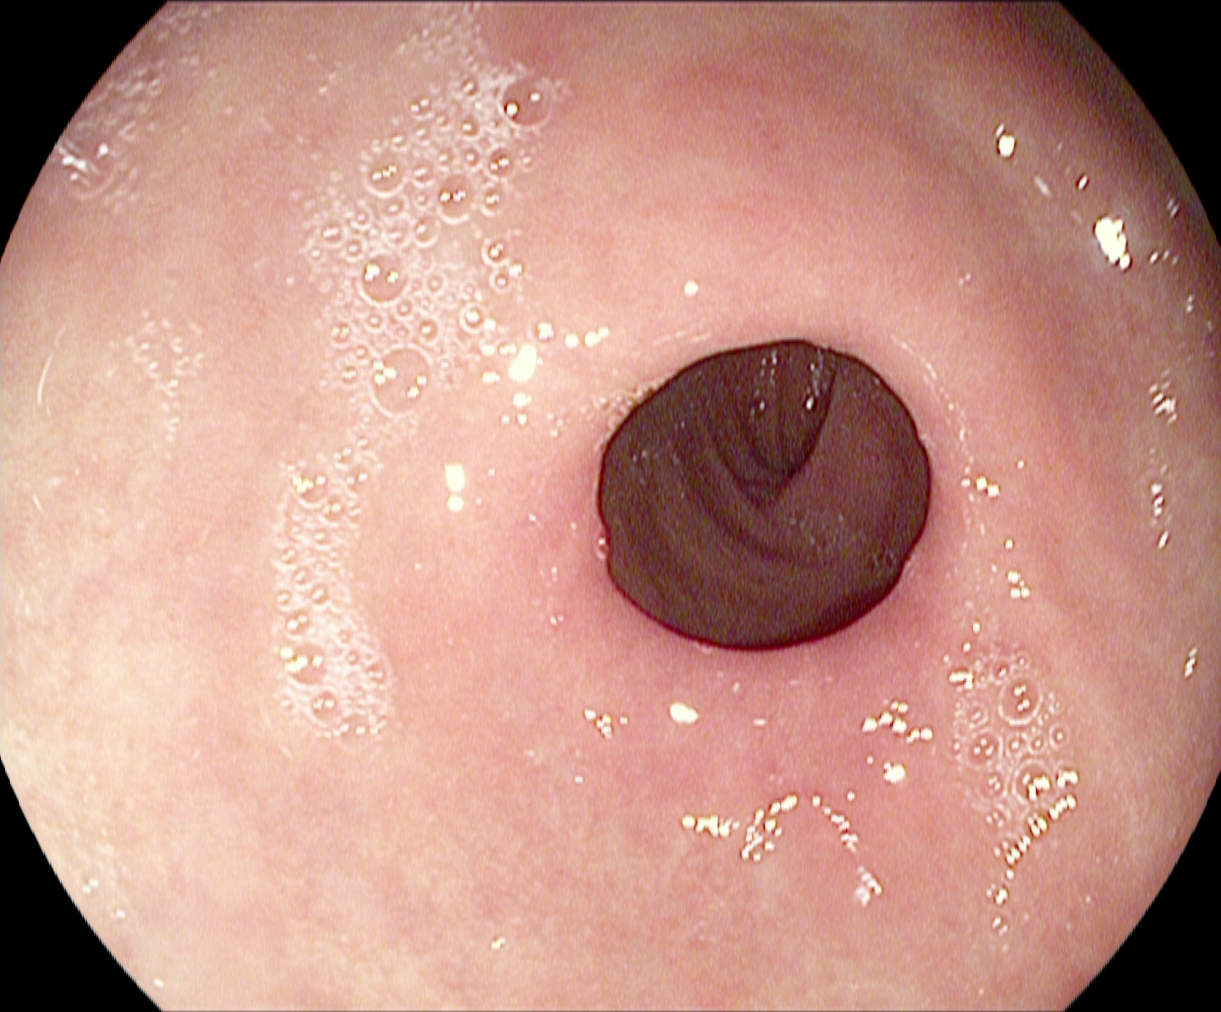This endoscopic image shows pylorus.